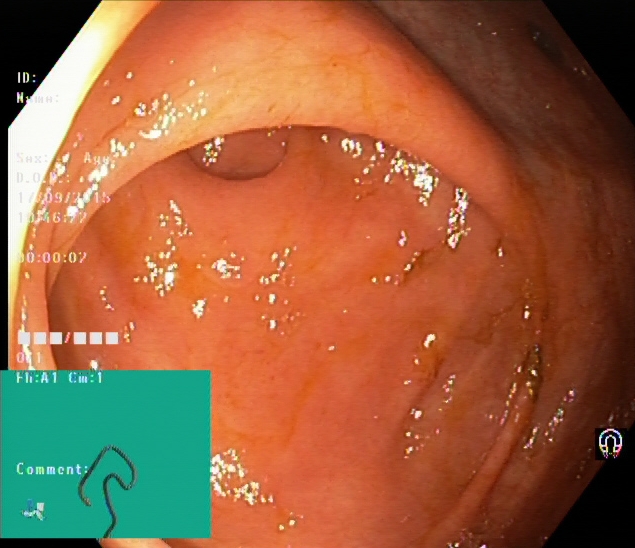Lower gastrointestinal endoscopy. Tract: lower GI tract. Anatomical landmark. Finding: cecum.